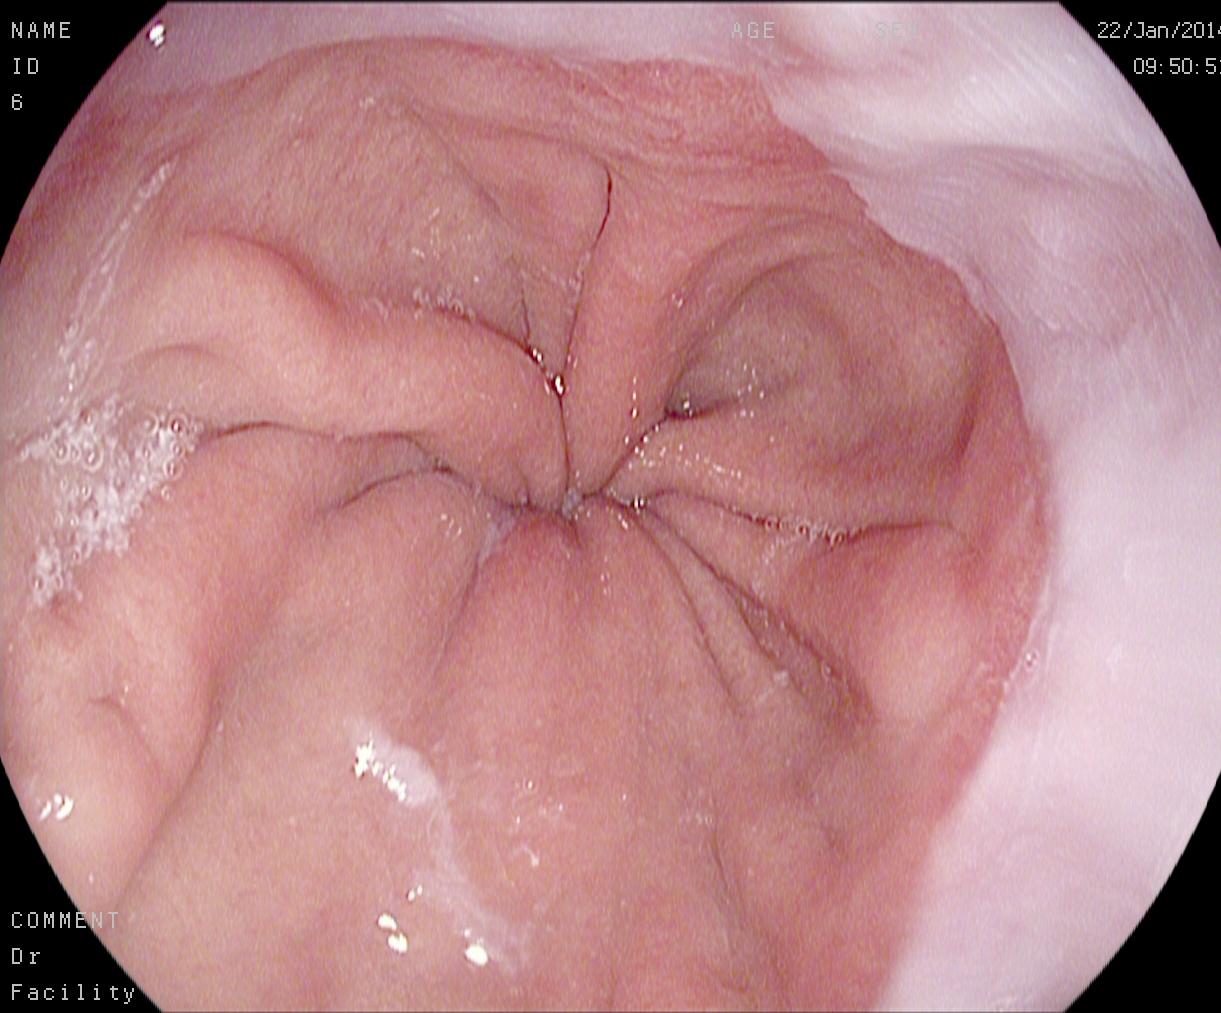This endoscopy frame of the upper GI tract shows Z-line (gastroesophageal junction).